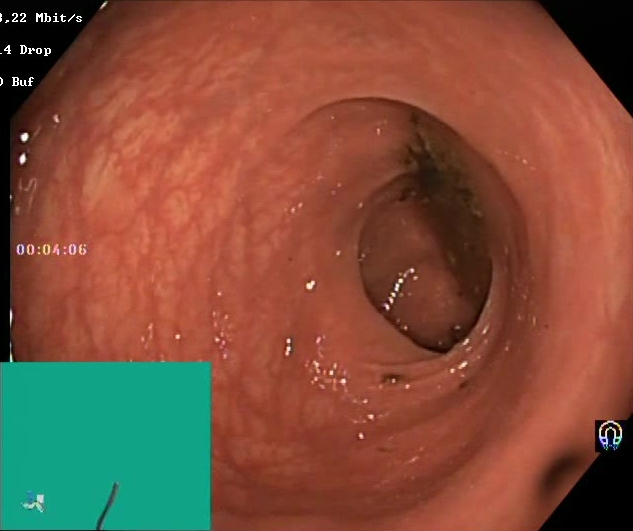modality: lower gastrointestinal endoscopy | tract: lower GI tract | finding: Boston Bowel Preparation Scale score 0–1 (inadequate preparation)